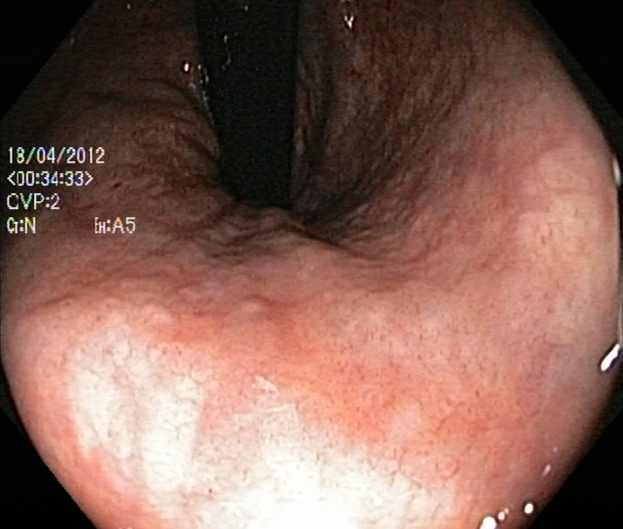GI endoscopy image showing rectum in retroflexion.